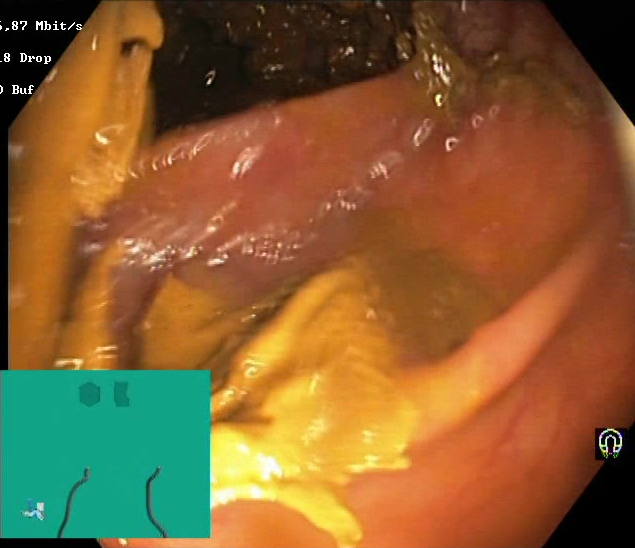Lower gastrointestinal endoscopy. Finding: Boston Bowel Preparation Scale score 0–1 (inadequate preparation).